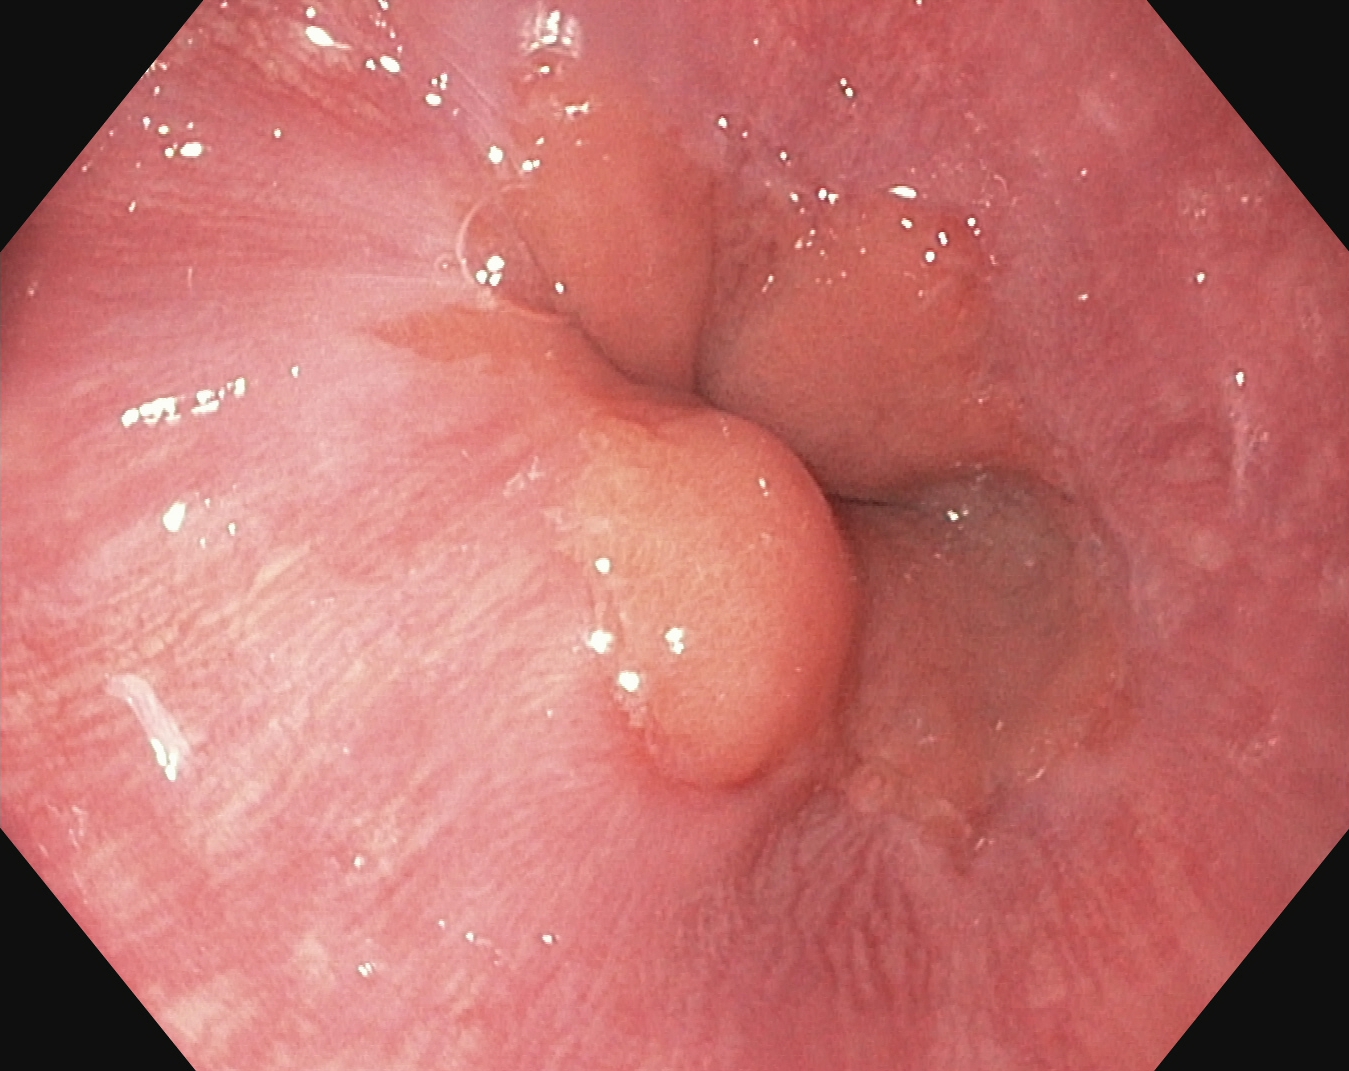{"modality": "upper-GI endoscopy", "finding": "Z-line (gastroesophageal junction)"}